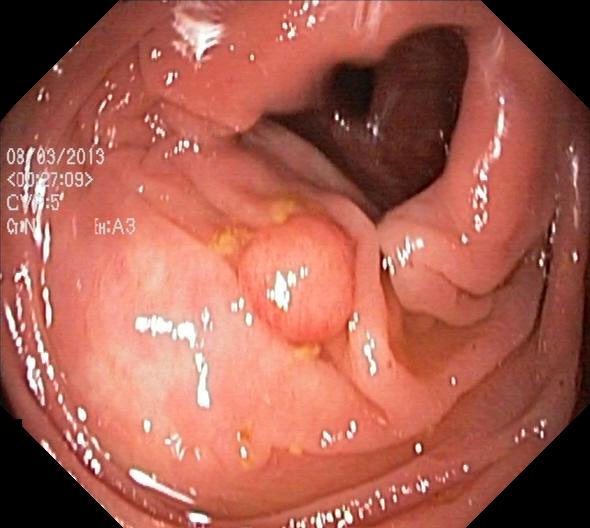PROCEDURE: Lower gastrointestinal endoscopy.
FINDINGS: Colorectal polyp(s).